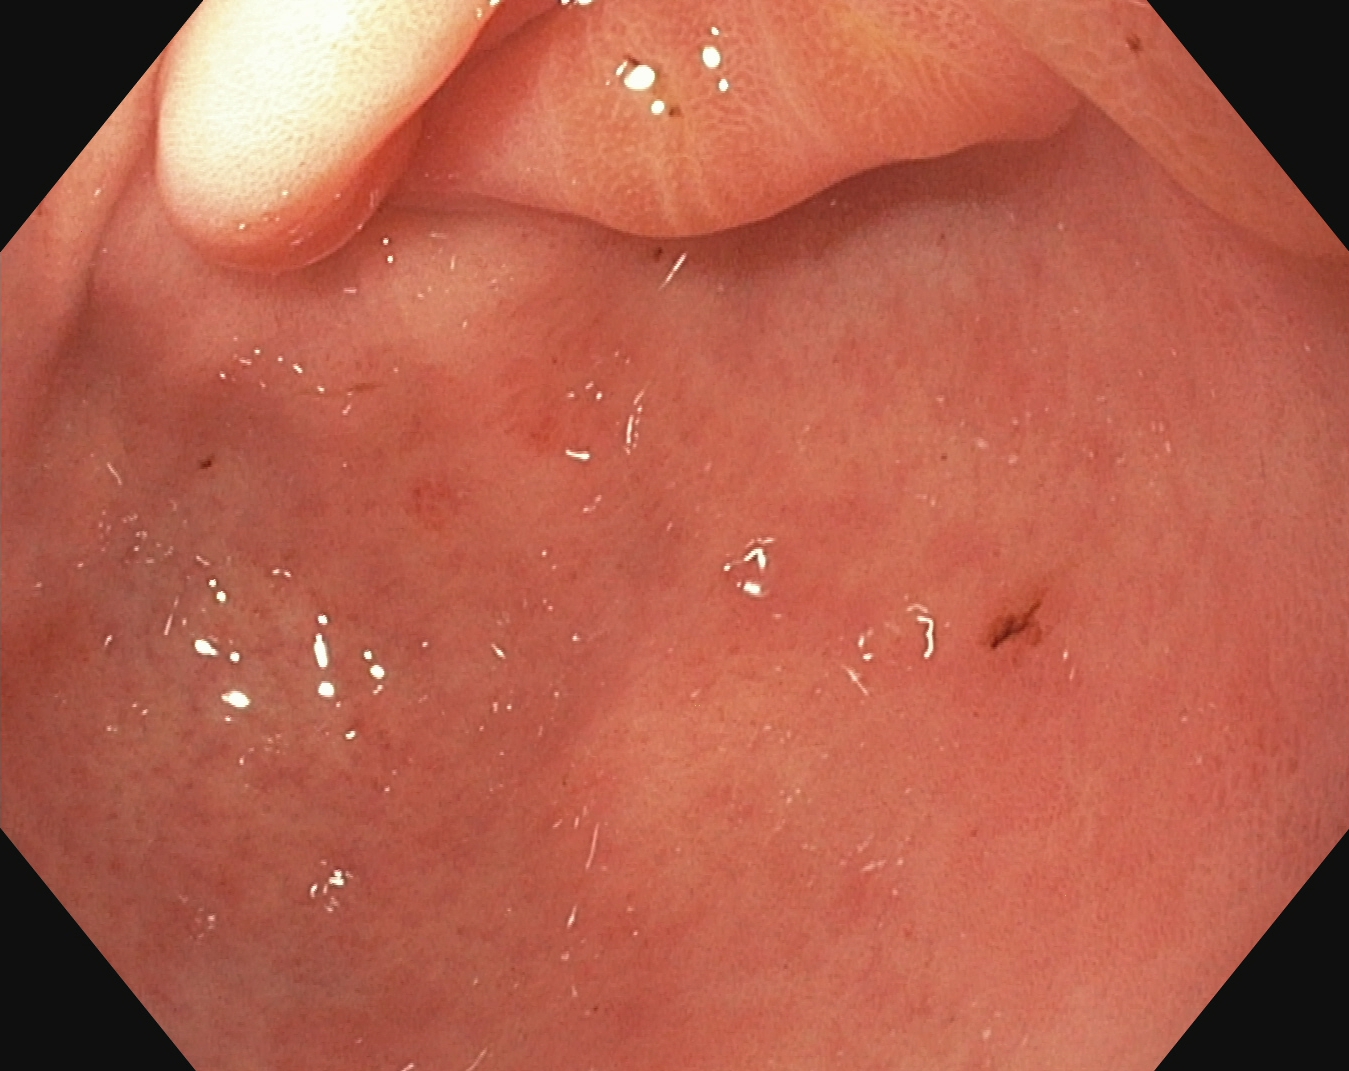Gastroscopy. Anatomical landmark. Finding: pylorus.